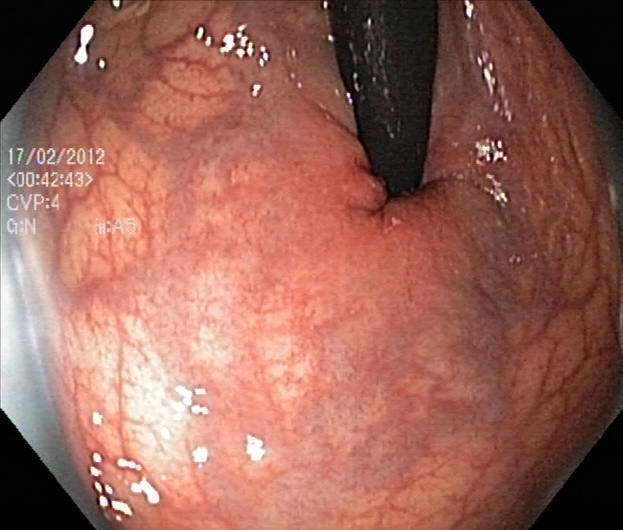Lower-GI endoscopy — rectum in retroflexion.